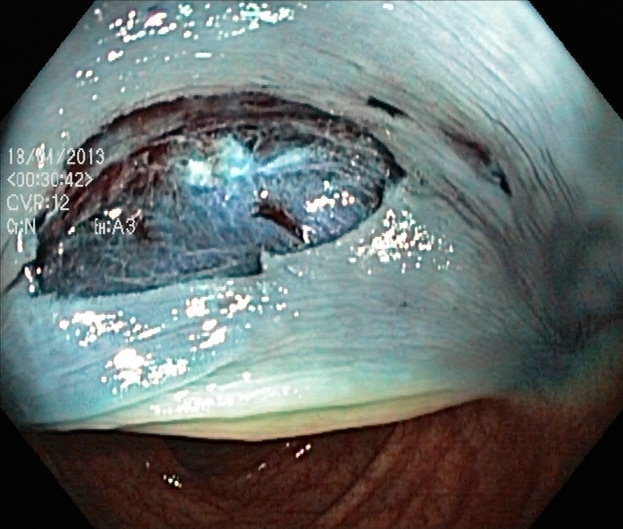dyed resection margins (post-polypectomy).